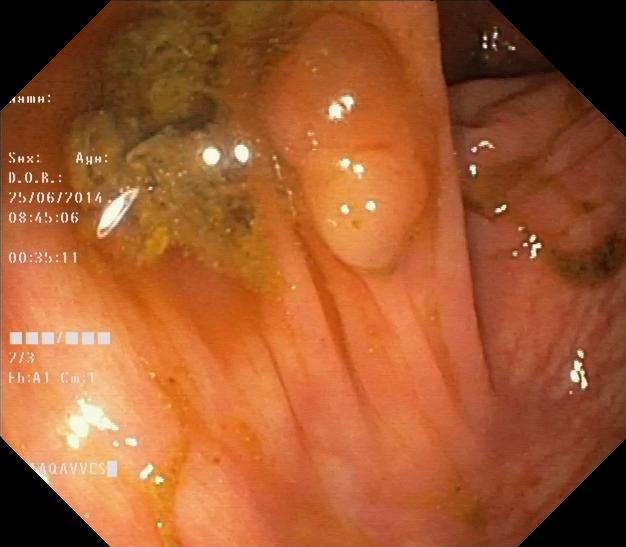Gastrointestinal endoscopy image showing colorectal polyp(s).